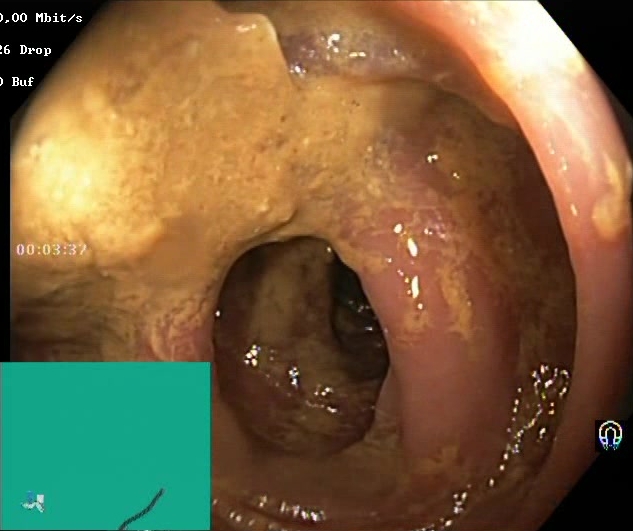Boston Bowel Preparation Scale score 0–1 (inadequate preparation).